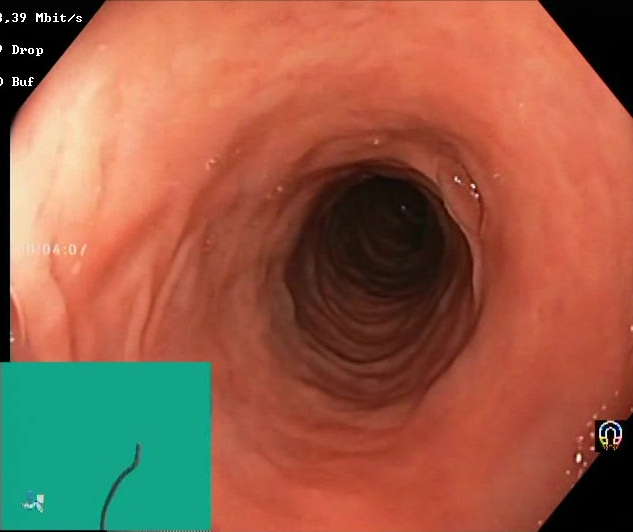Gastrointestinal endoscopy image of the lower GI tract showing Boston Bowel Preparation Scale score 2–3 (adequate preparation).